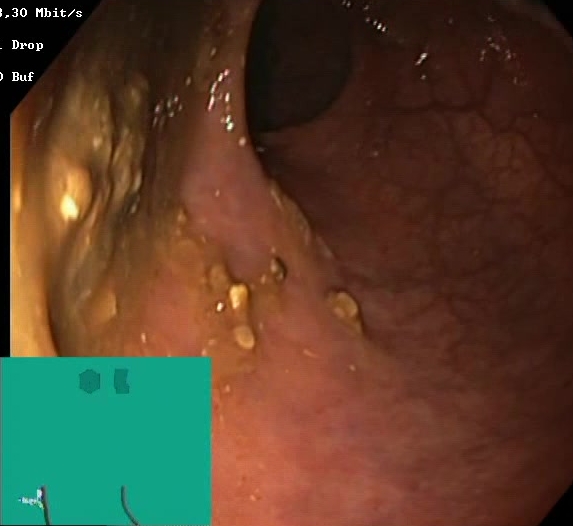Colonoscopy. Tract: lower GI tract. Mucosal-view quality. Finding: BBPS score 0–1 (inadequate preparation).